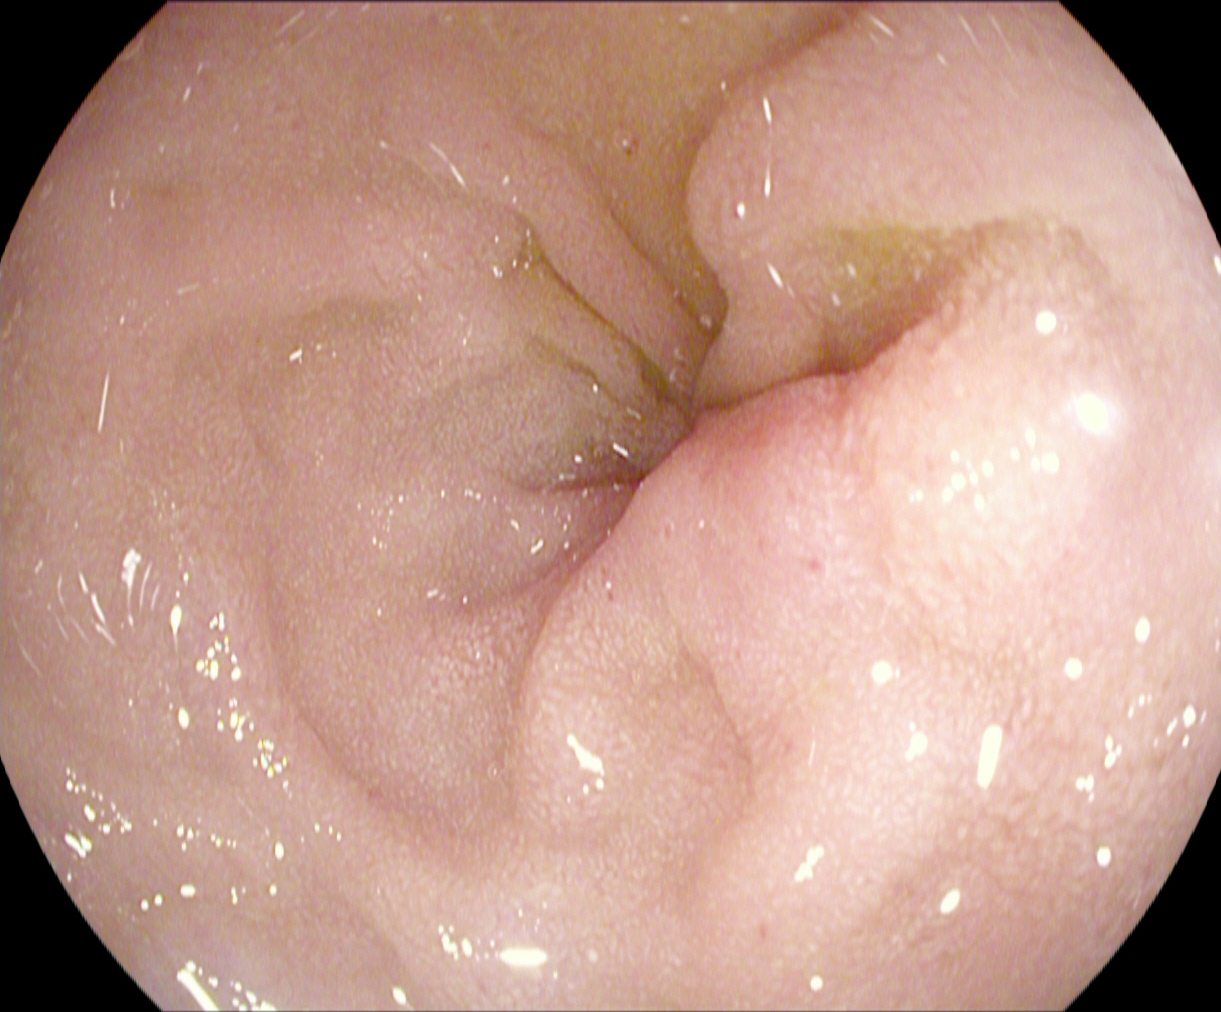modality: esophagogastroduodenoscopy | finding: pylorus